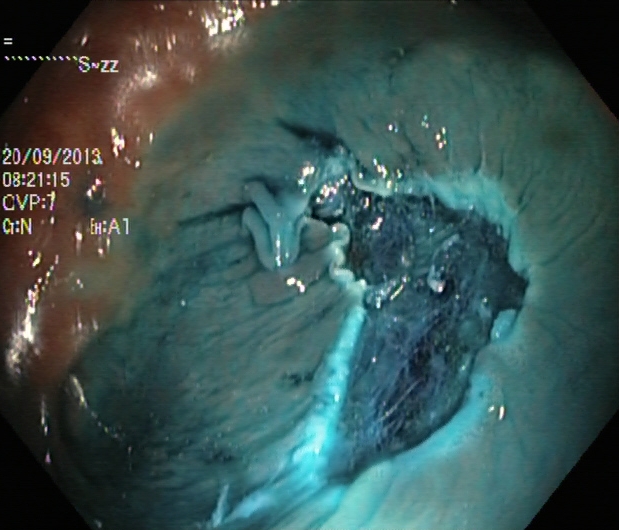modality: lower-GI endoscopy | tract: lower GI tract | finding: dyed resection margins (post-polypectomy)